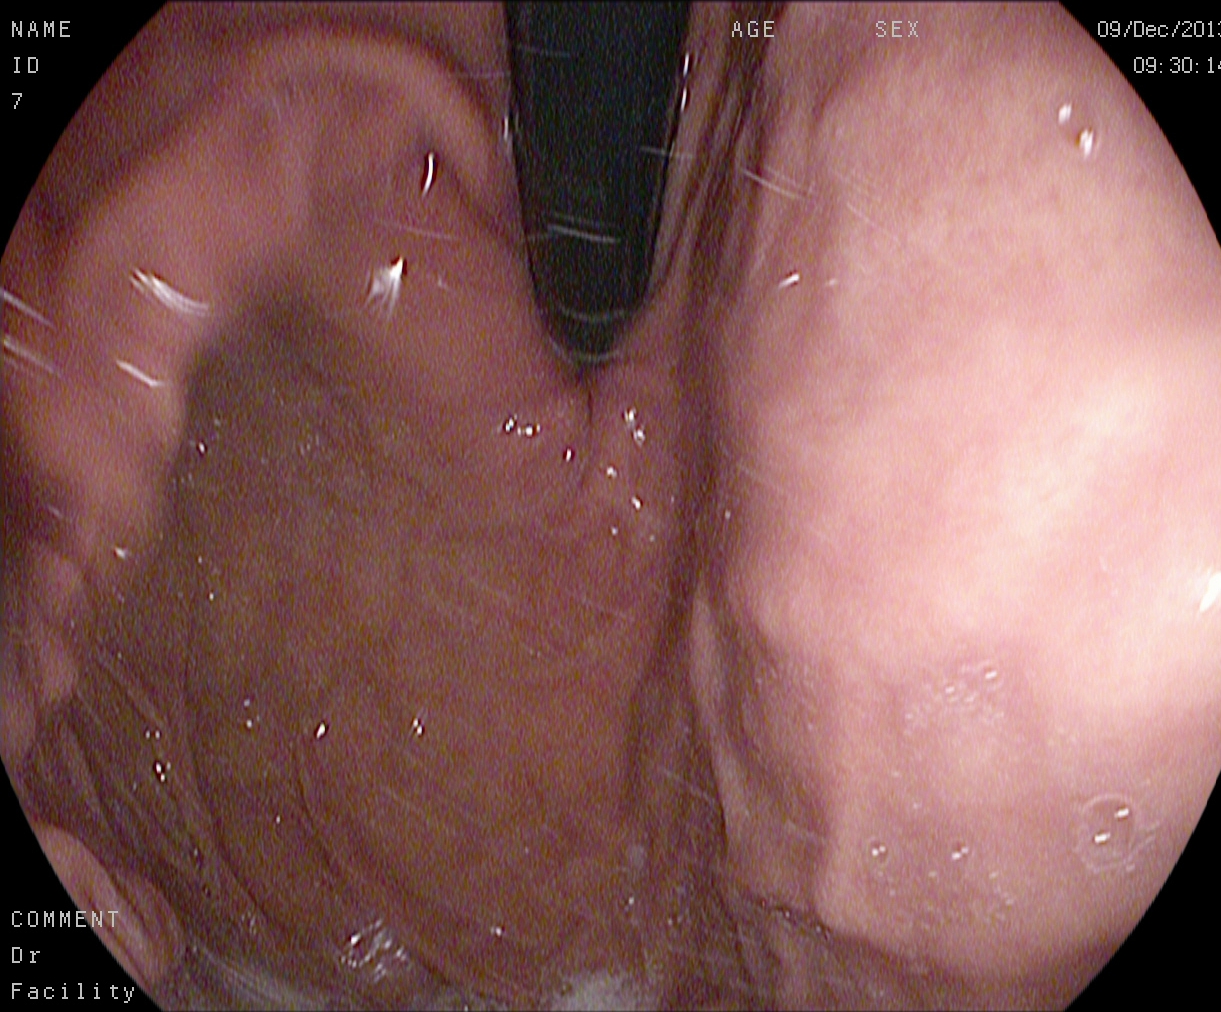Upper-GI endoscopy image of the upper GI tract showing stomach in retroflexion.